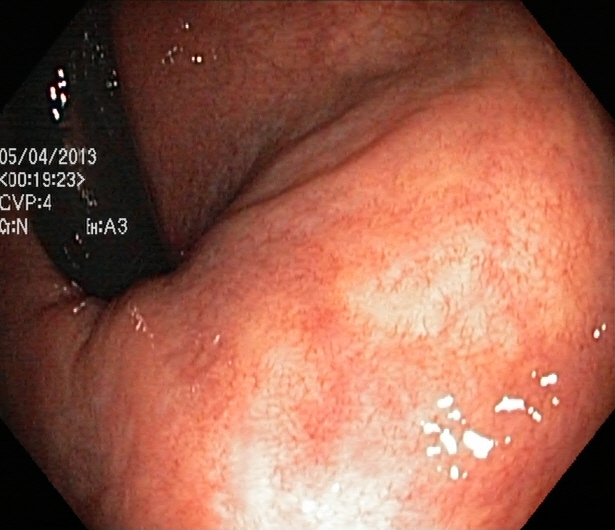Colonoscopy — rectum in retroflexion.